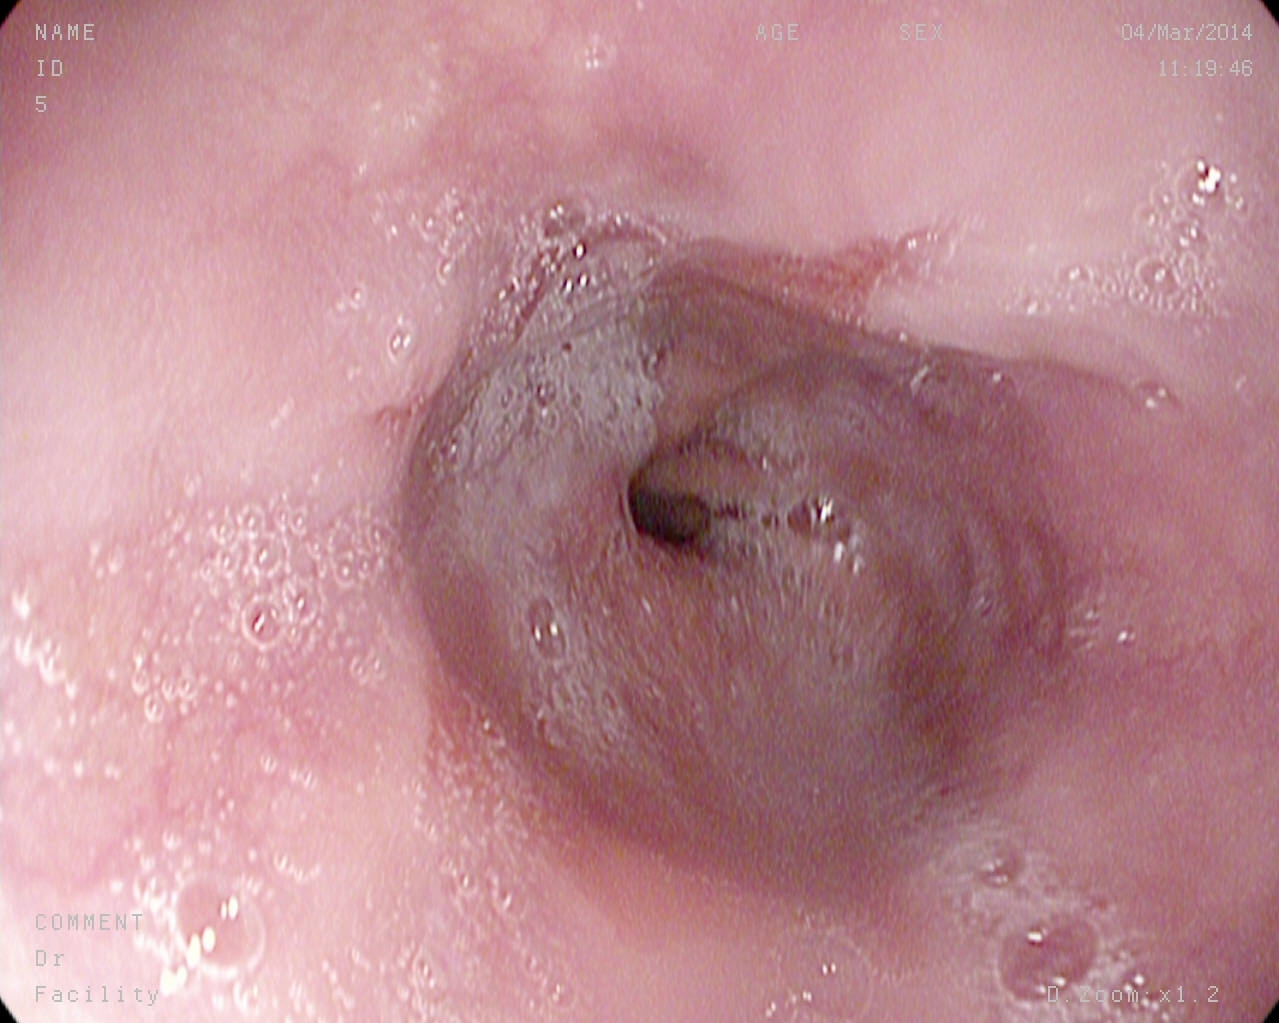modality: EGD | tract: upper GI tract | finding: reflux esophagitis, LA grade A